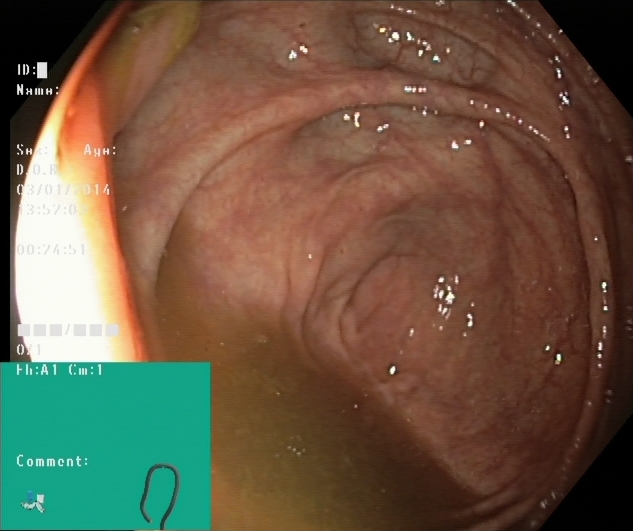This endoscopic image of the lower GI tract shows cecum.